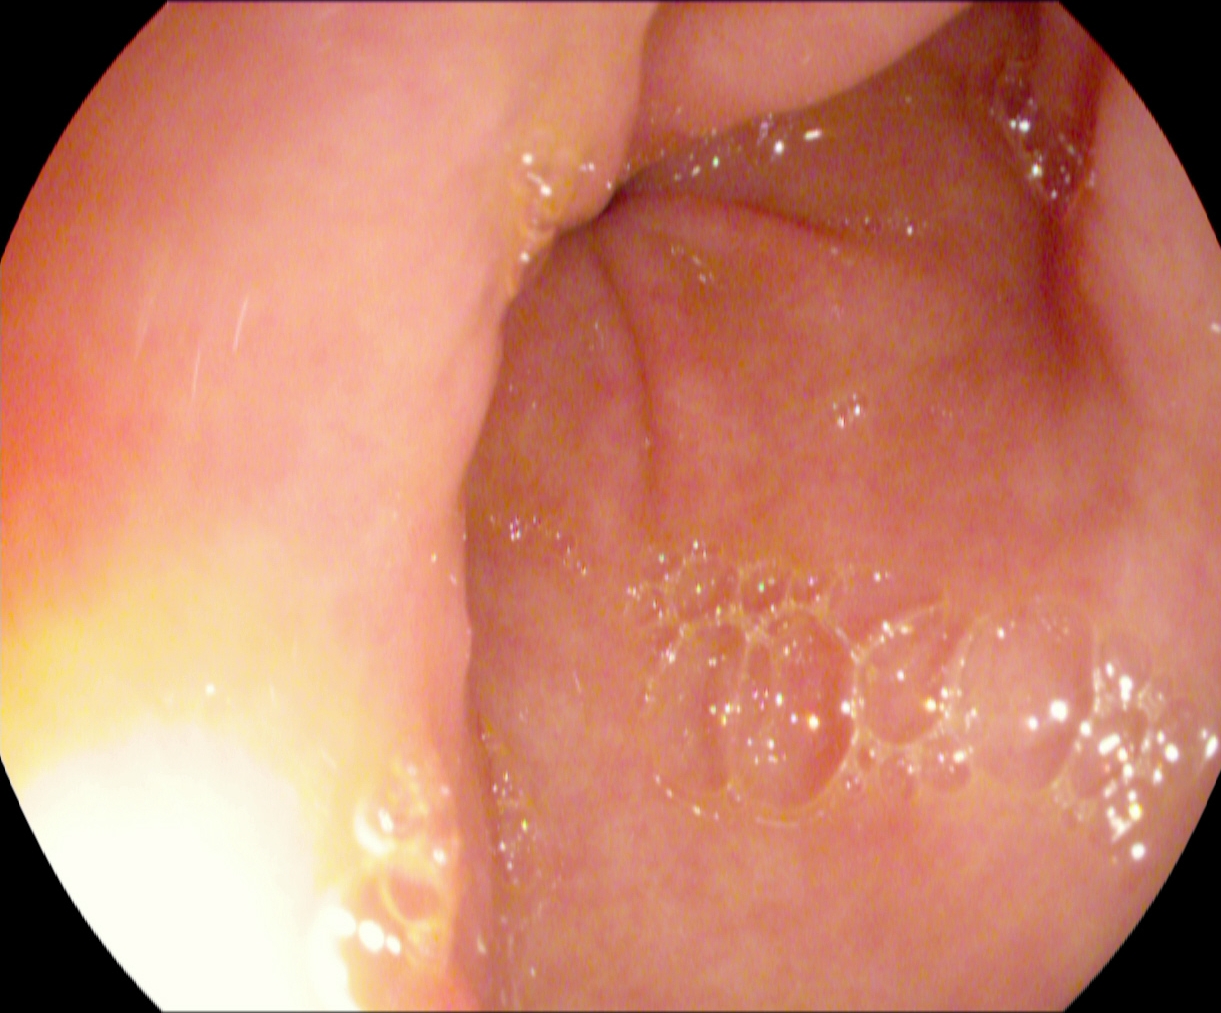Pylorus.